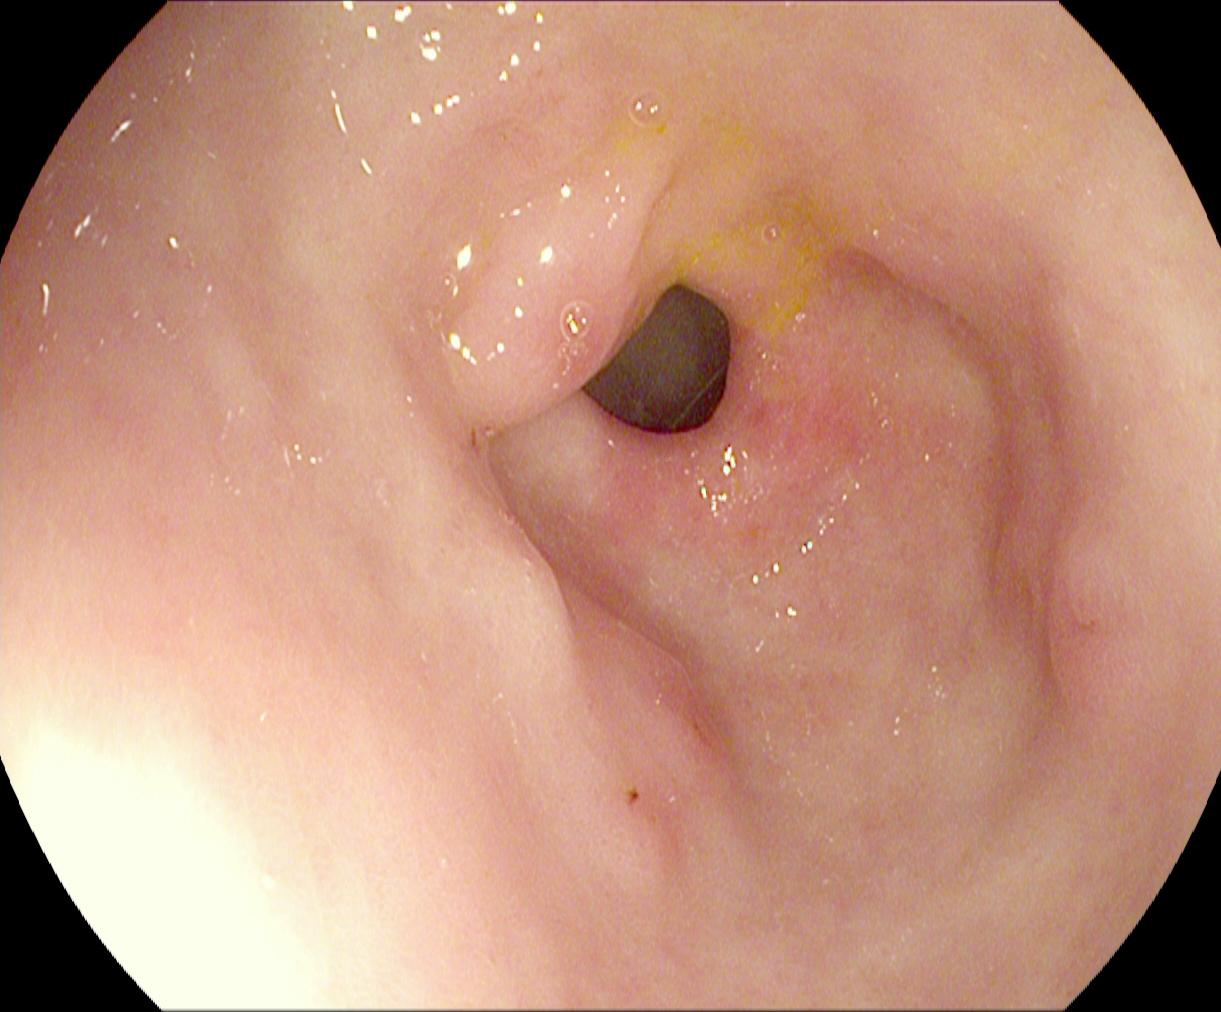GI endoscopy image showing pylorus.